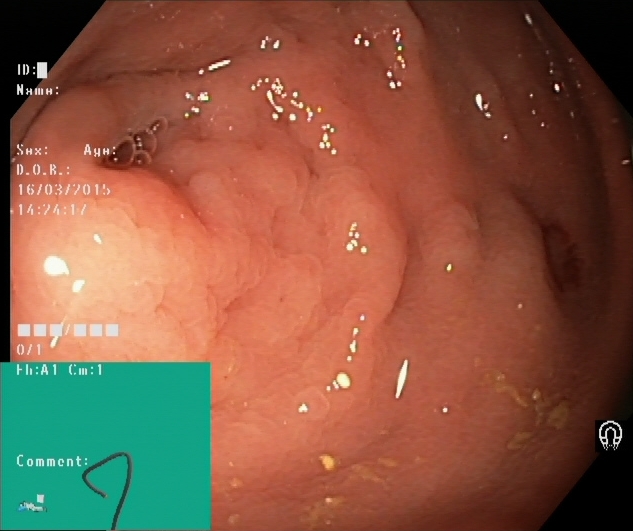Lower-GI endoscopy. Finding: cecum.